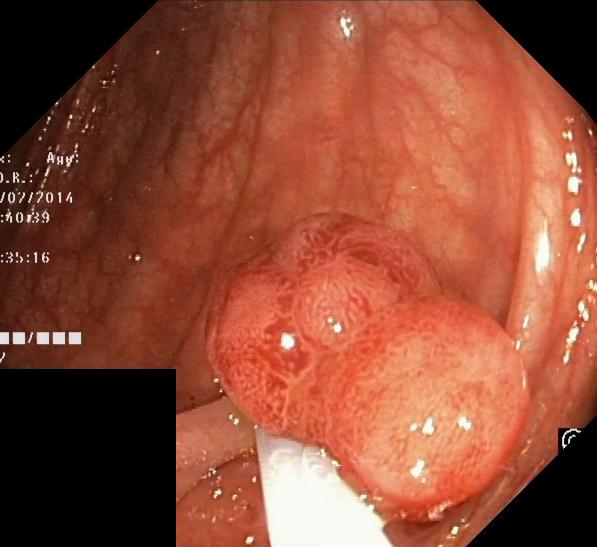PROCEDURE: Colonoscopy.
FINDINGS: Colorectal polyp(s).